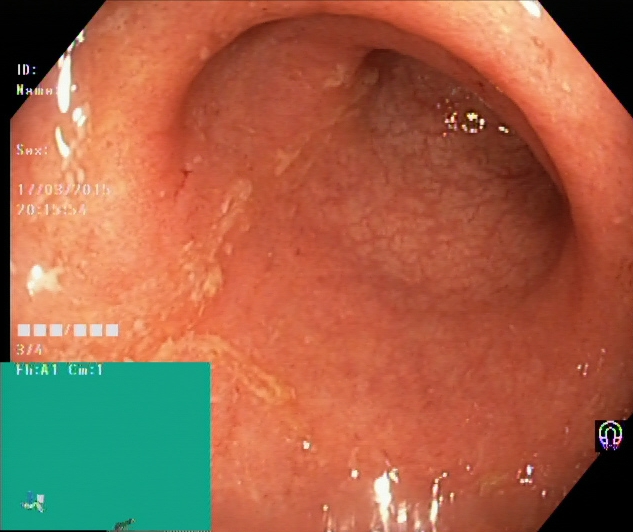{"modality": "colonoscopy", "tract": "lower GI tract", "finding": "ulcerative colitis, Mayo endoscopic subscore 1"}